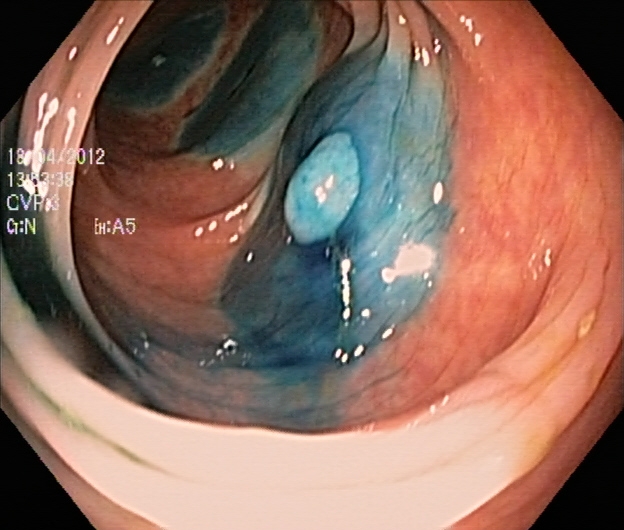Dyed and lifted polyp (pre-resection).